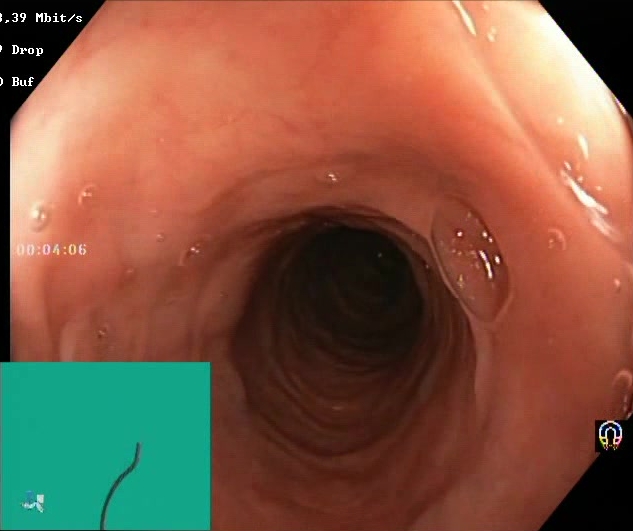{"modality": "colonoscopy", "tract": "lower GI tract", "category": "mucosal-view quality", "finding": "BBPS score 2\u20133 (adequate preparation)"}